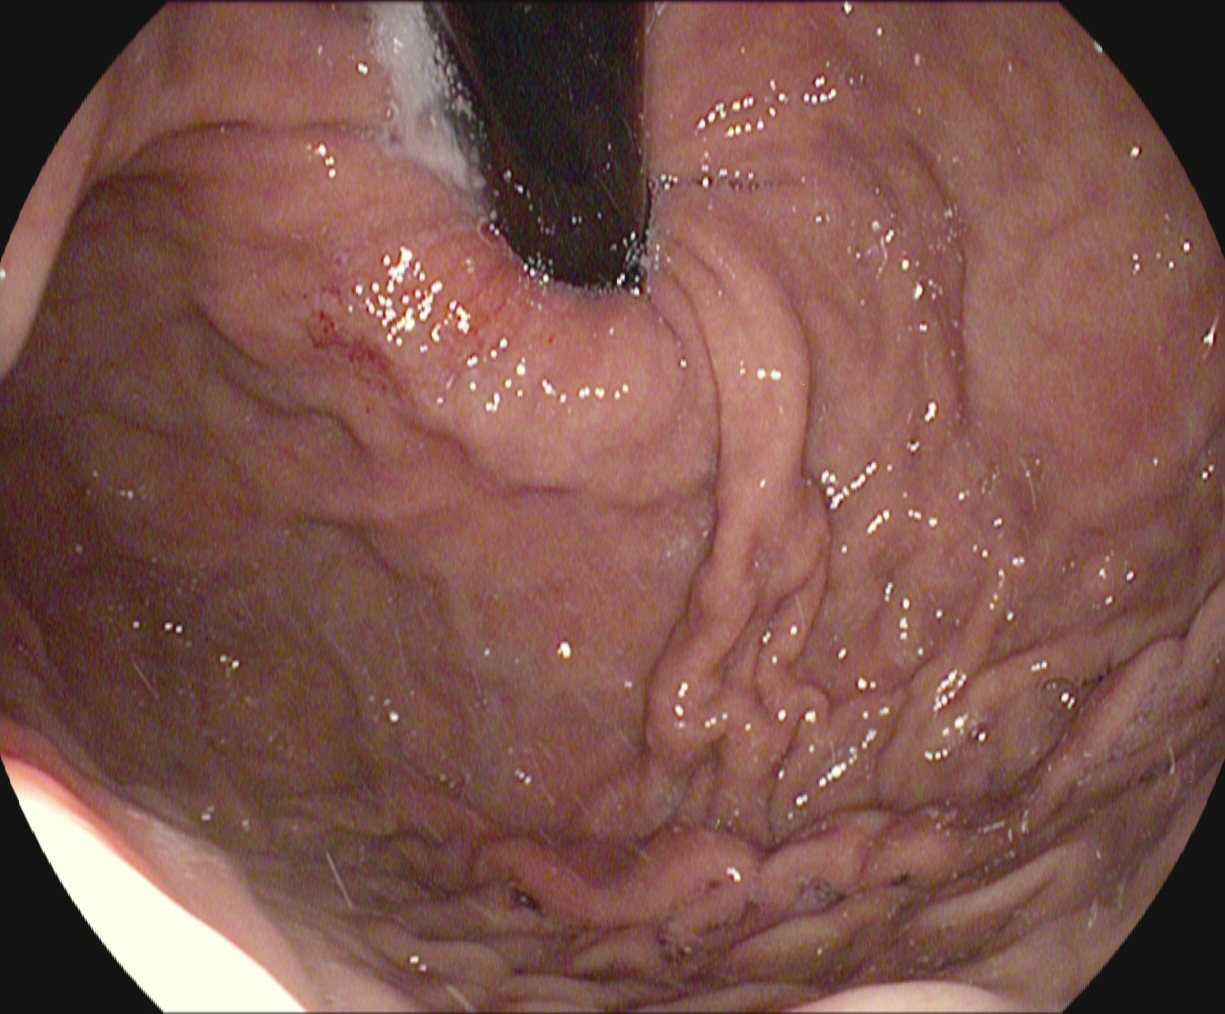PROCEDURE: Esophagogastroduodenoscopy.
FINDINGS: Stomach in retroflexion.